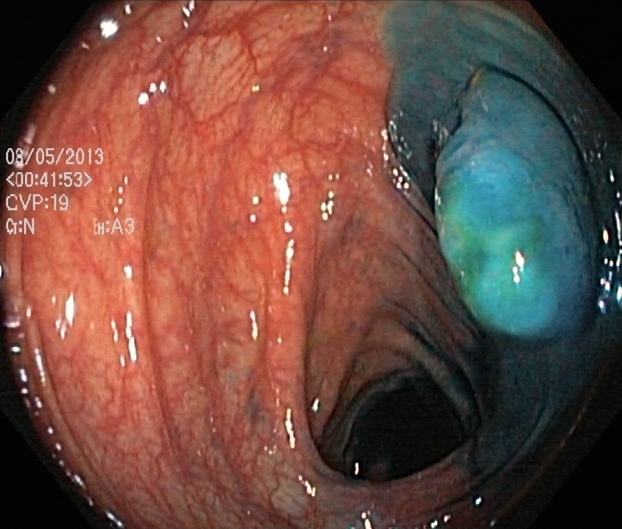modality: lower-GI endoscopy | tract: lower GI tract | finding: dyed and lifted polyp (pre-resection)